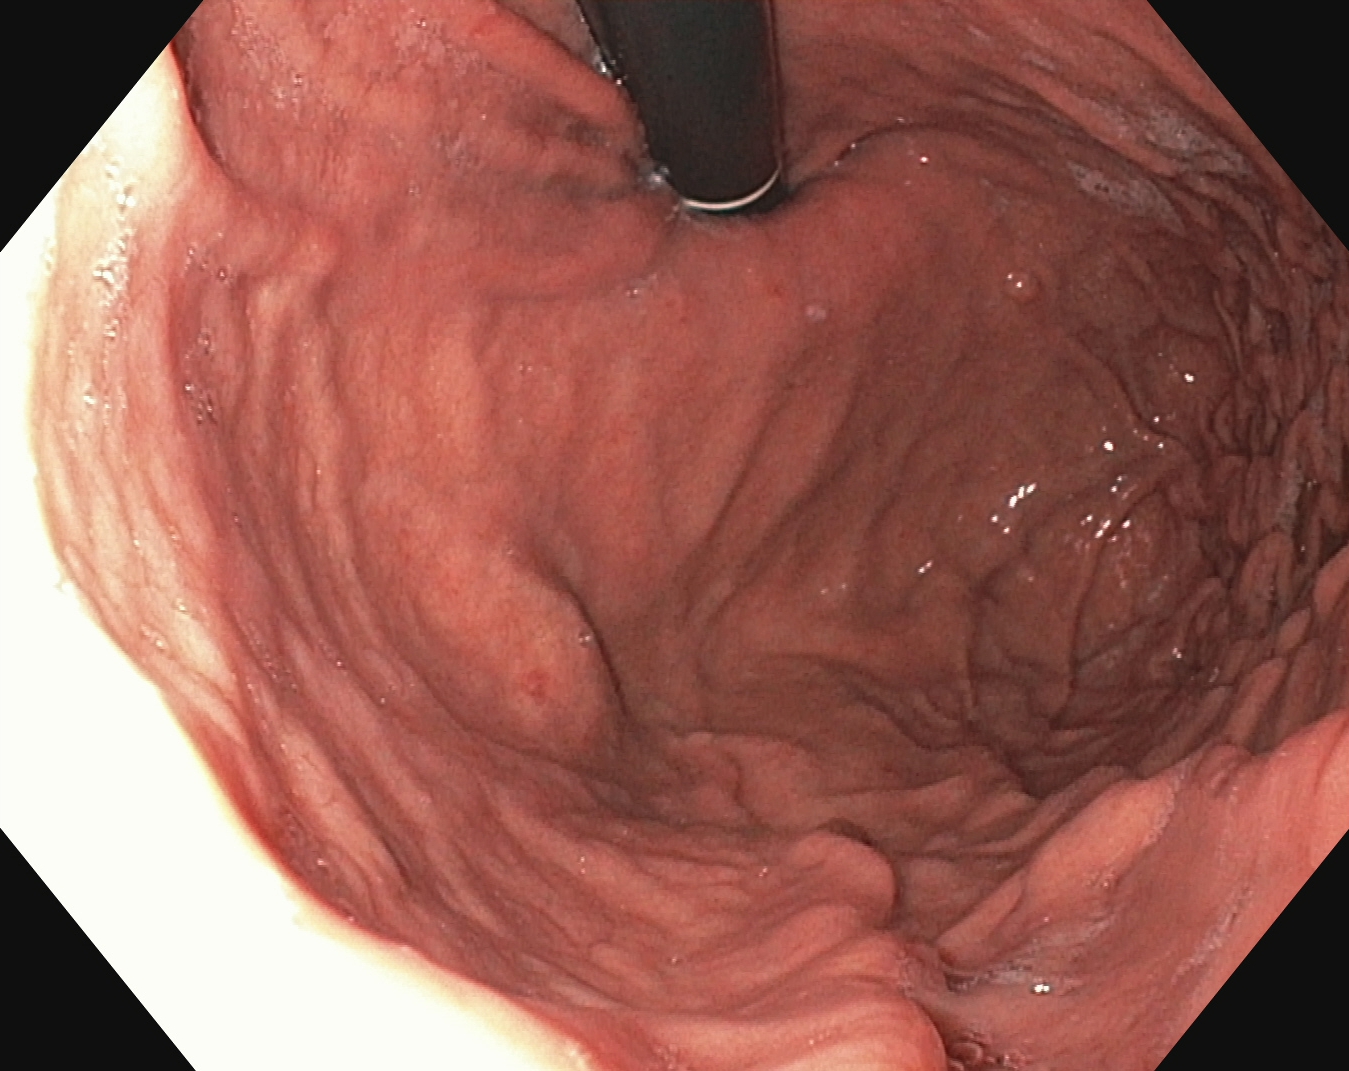stomach in retroflexion.